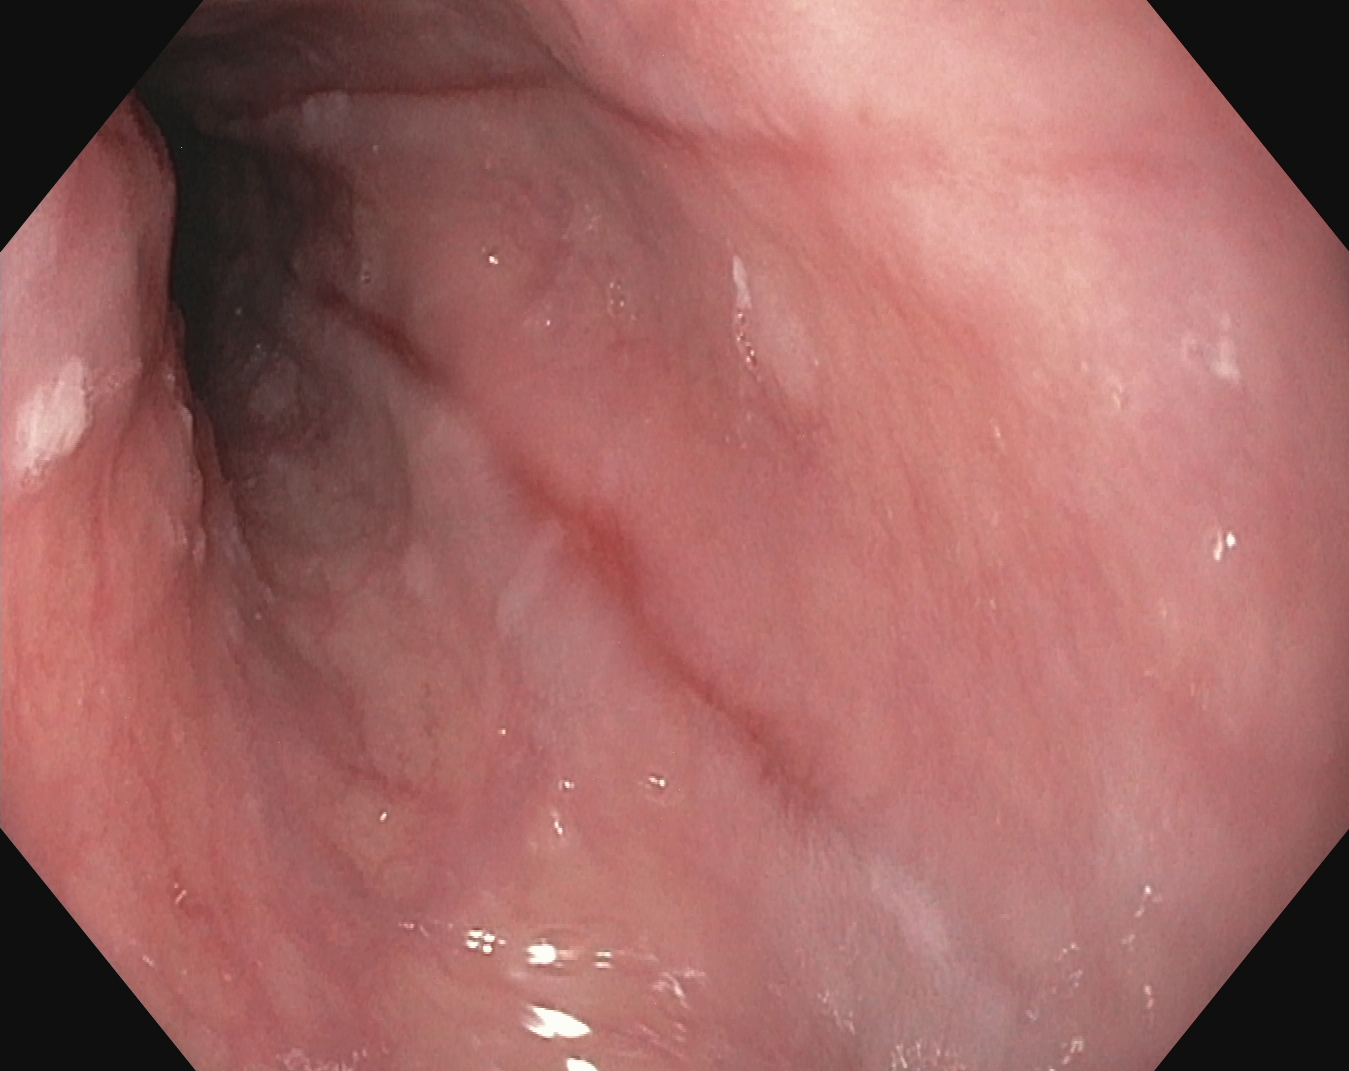reflux esophagitis, Los Angeles grade B–D.